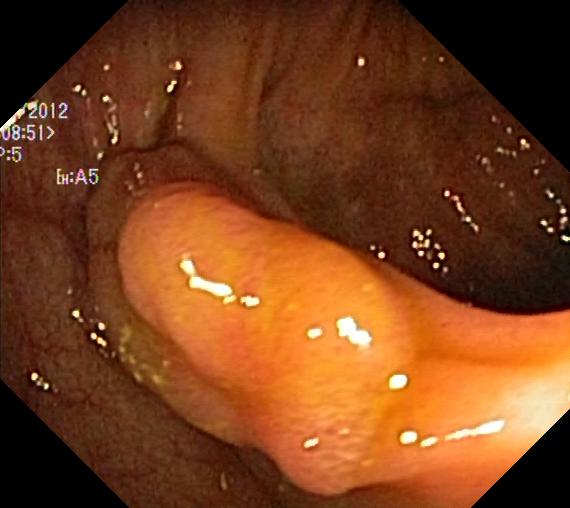Colonoscopy. Tract: lower GI tract. Pathological finding. Finding: colorectal polyp(s).